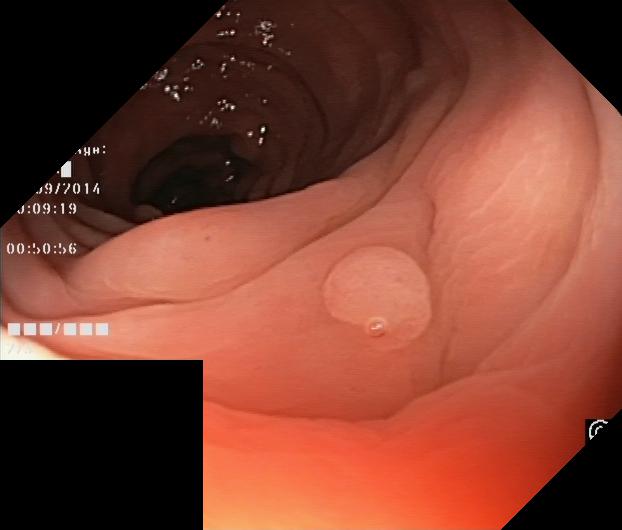Lower-GI endoscopy image showing colorectal polyp(s).